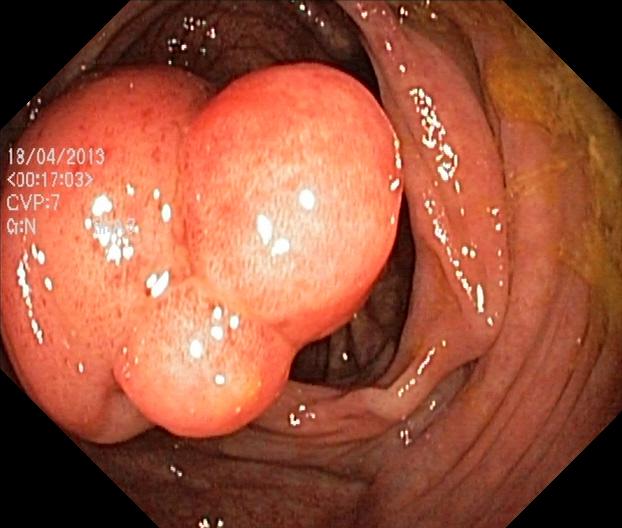Colonoscopy image showing colorectal polyp(s).